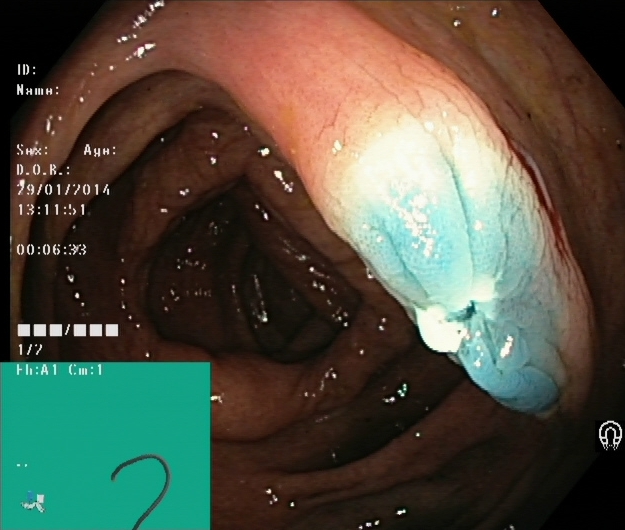GI endoscopy image of the lower GI tract showing dyed resection margins (post-polypectomy).